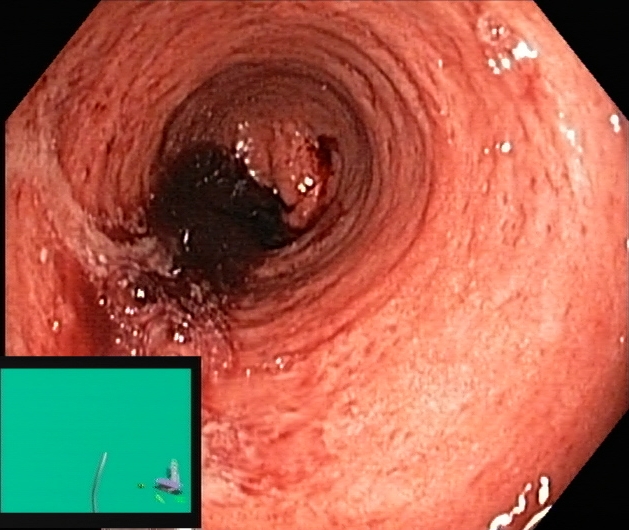PROCEDURE: Colonoscopy.
FINDINGS: Ulcerative colitis, Mayo endoscopic subscore 3.